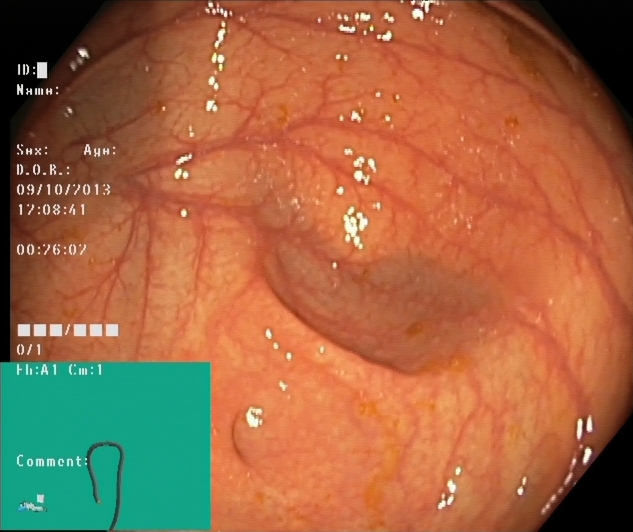modality: colonoscopy
finding: cecum